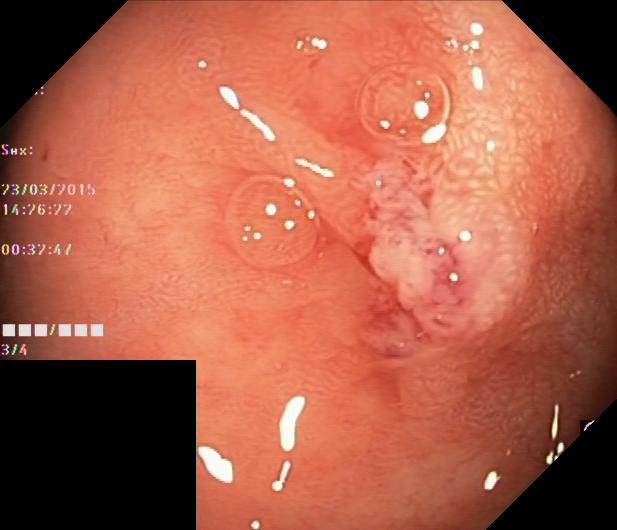Lower-GI endoscopy. Tract: lower GI tract. Pathological finding. Finding: colorectal polyp(s).